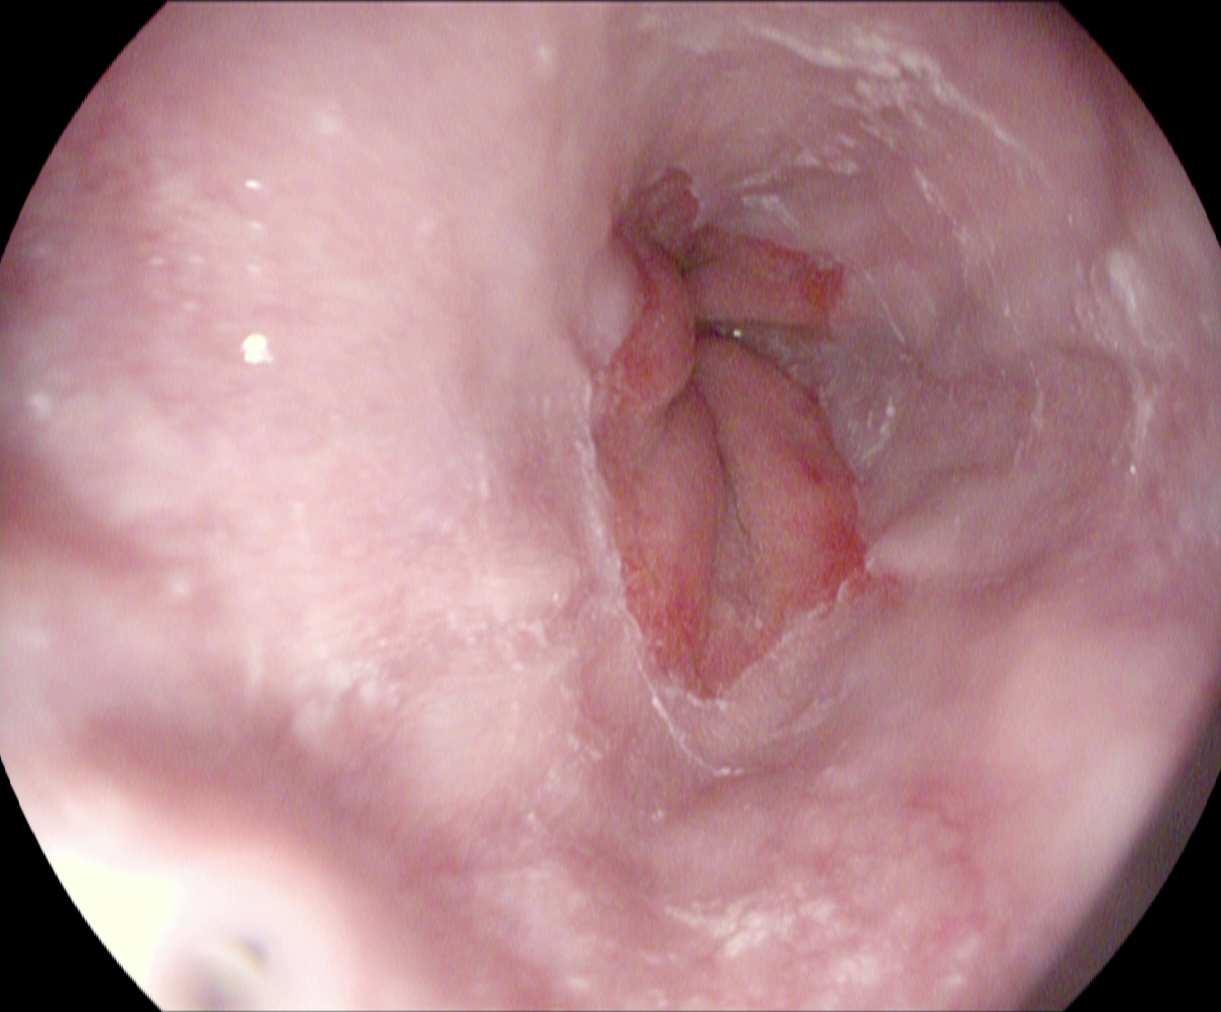EGD — reflux esophagitis, Los Angeles grade A.